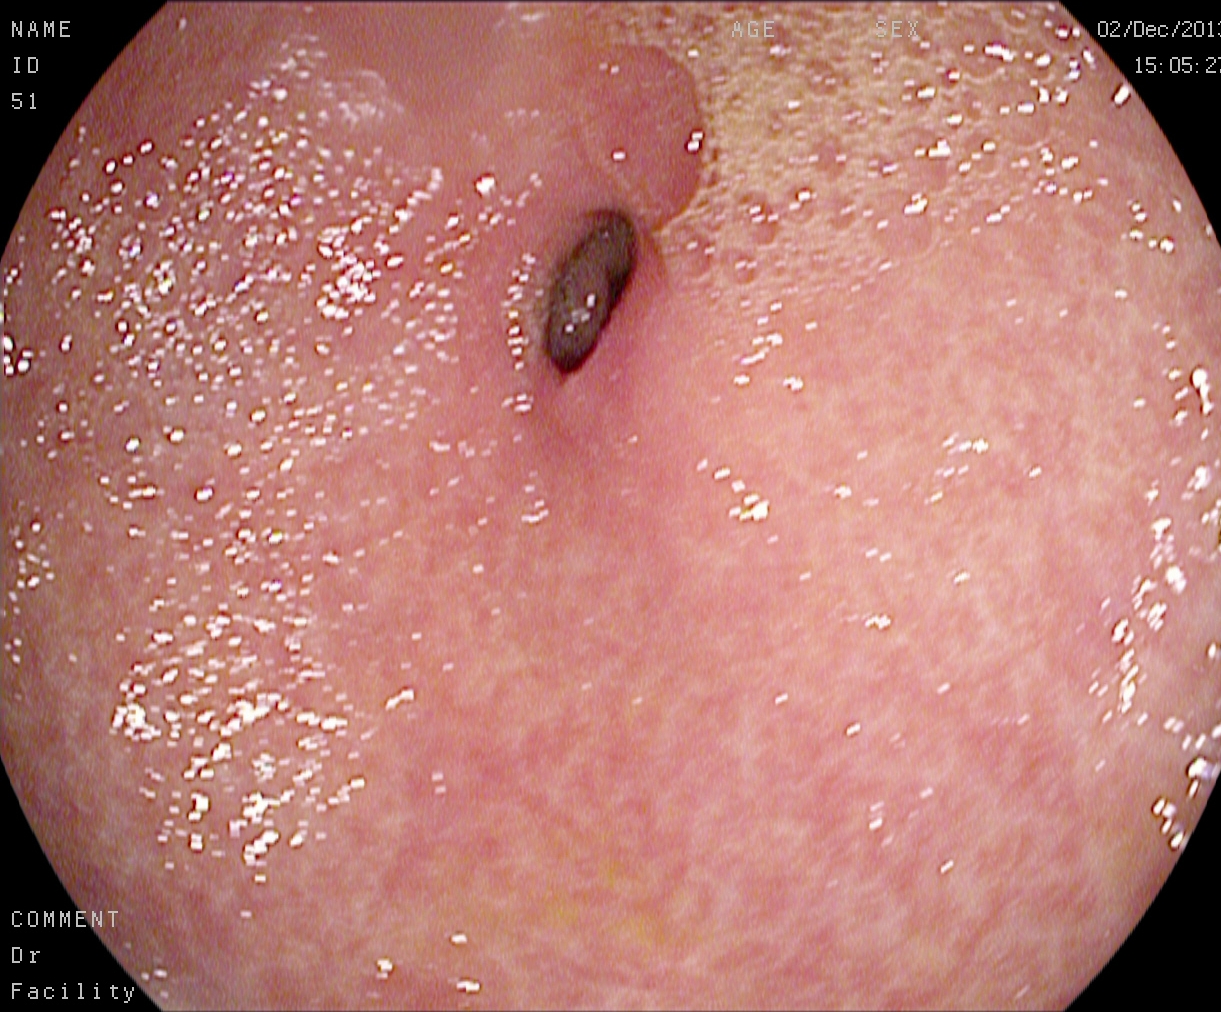EGD image showing pylorus.